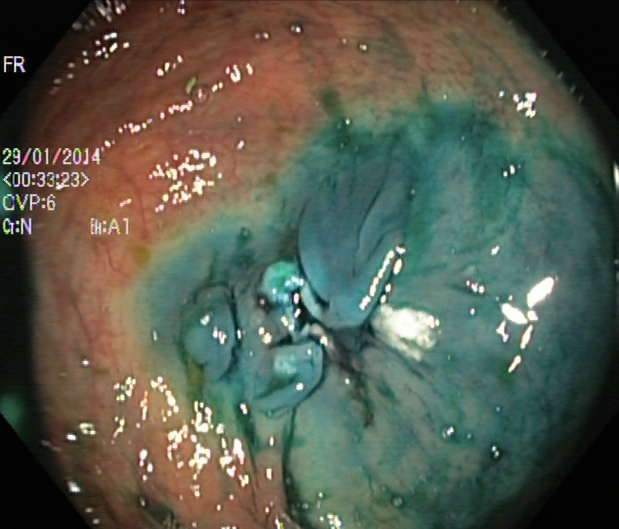modality: lower-GI endoscopy
tract: lower GI tract
finding: dyed resection margins (post-polypectomy)